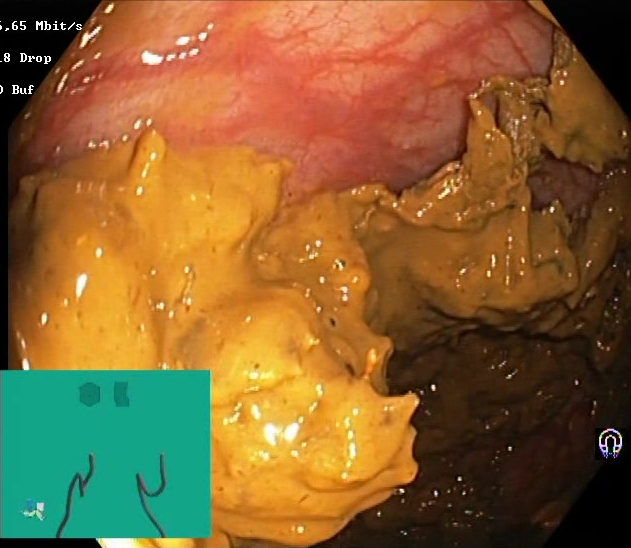PROCEDURE: Lower gastrointestinal endoscopy.
FINDINGS: Boston Bowel Preparation Scale score 0–1 (inadequate preparation).